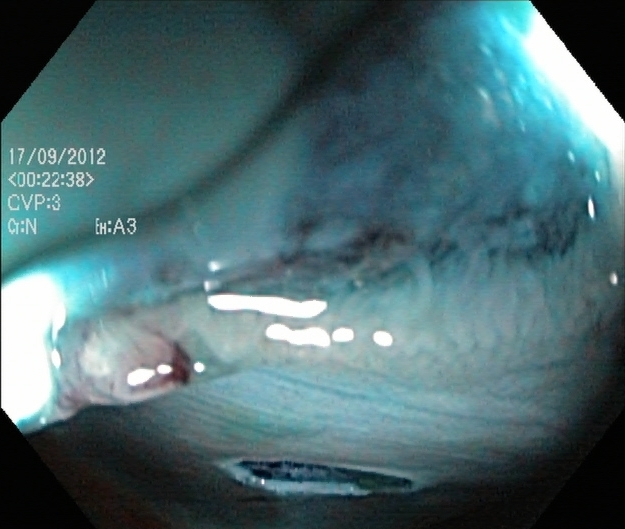{"modality": "colonoscopy", "category": "therapeutic intervention", "finding": "dyed resection margins (post-polypectomy)"}